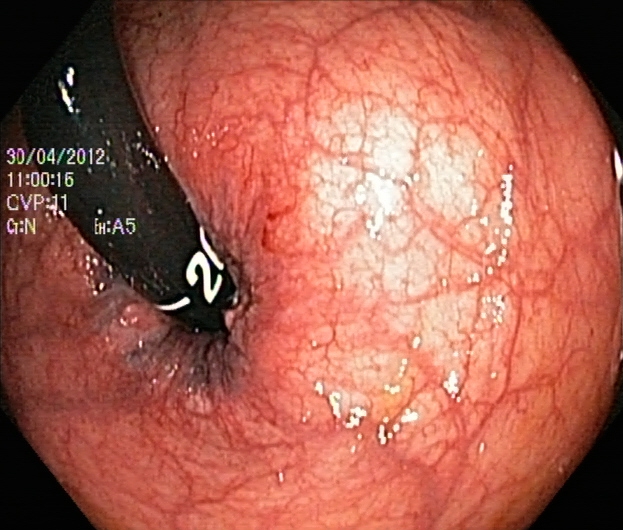PROCEDURE: Lower gastrointestinal endoscopy.
CATEGORY: Anatomical landmark.
FINDINGS: Rectum in retroflexion.